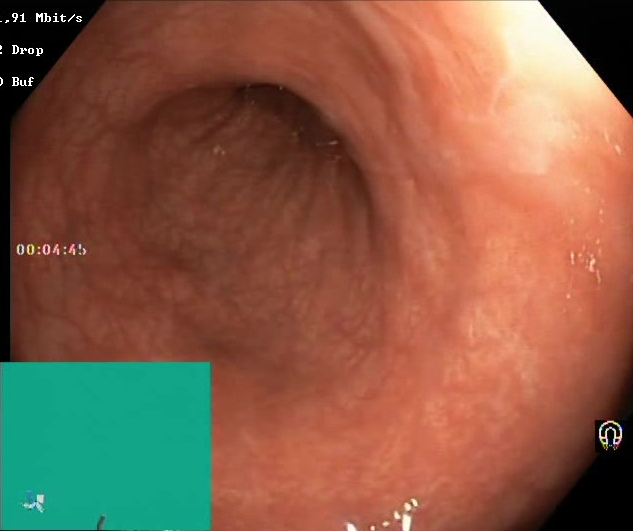{"modality": "colonoscopy", "tract": "lower GI tract", "finding": "BBPS score 2\u20133 (adequate preparation)"}